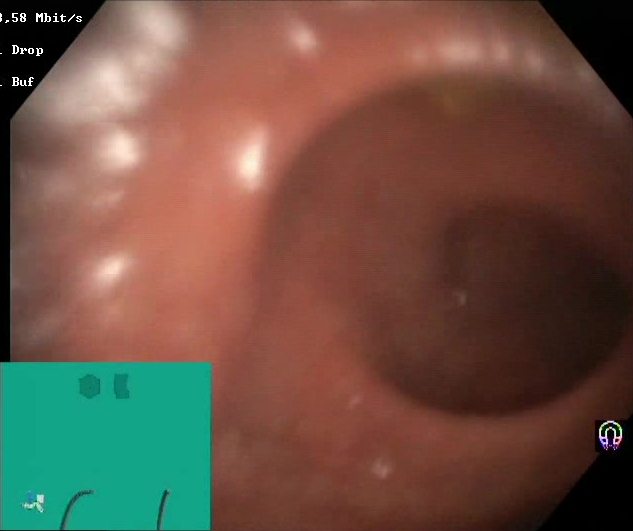Gastrointestinal endoscopy image of the lower GI tract showing Boston Bowel Preparation Scale score 2–3 (adequate preparation).